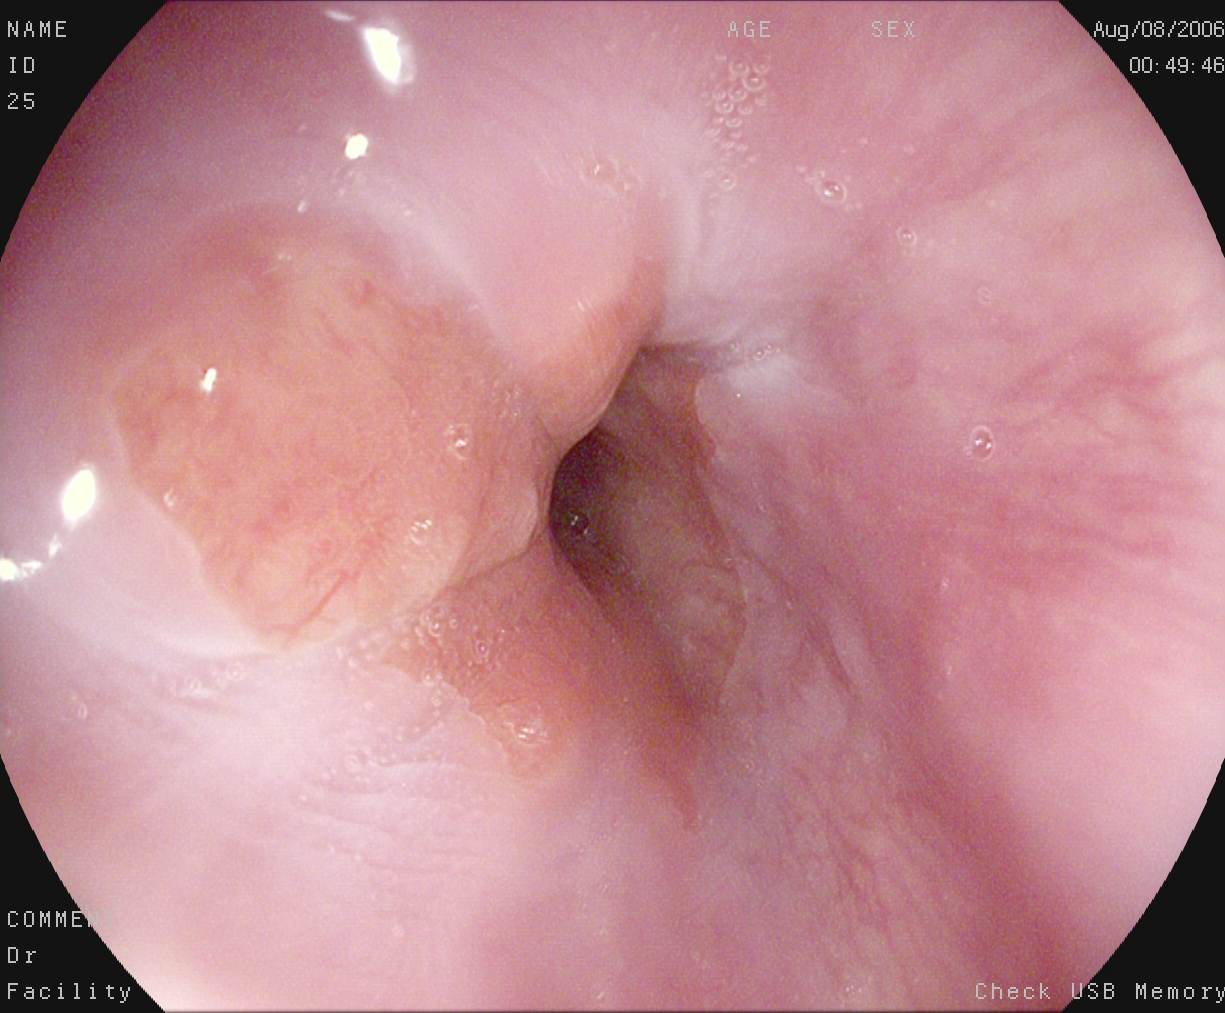This endoscopy frame shows Z-line (gastroesophageal junction).